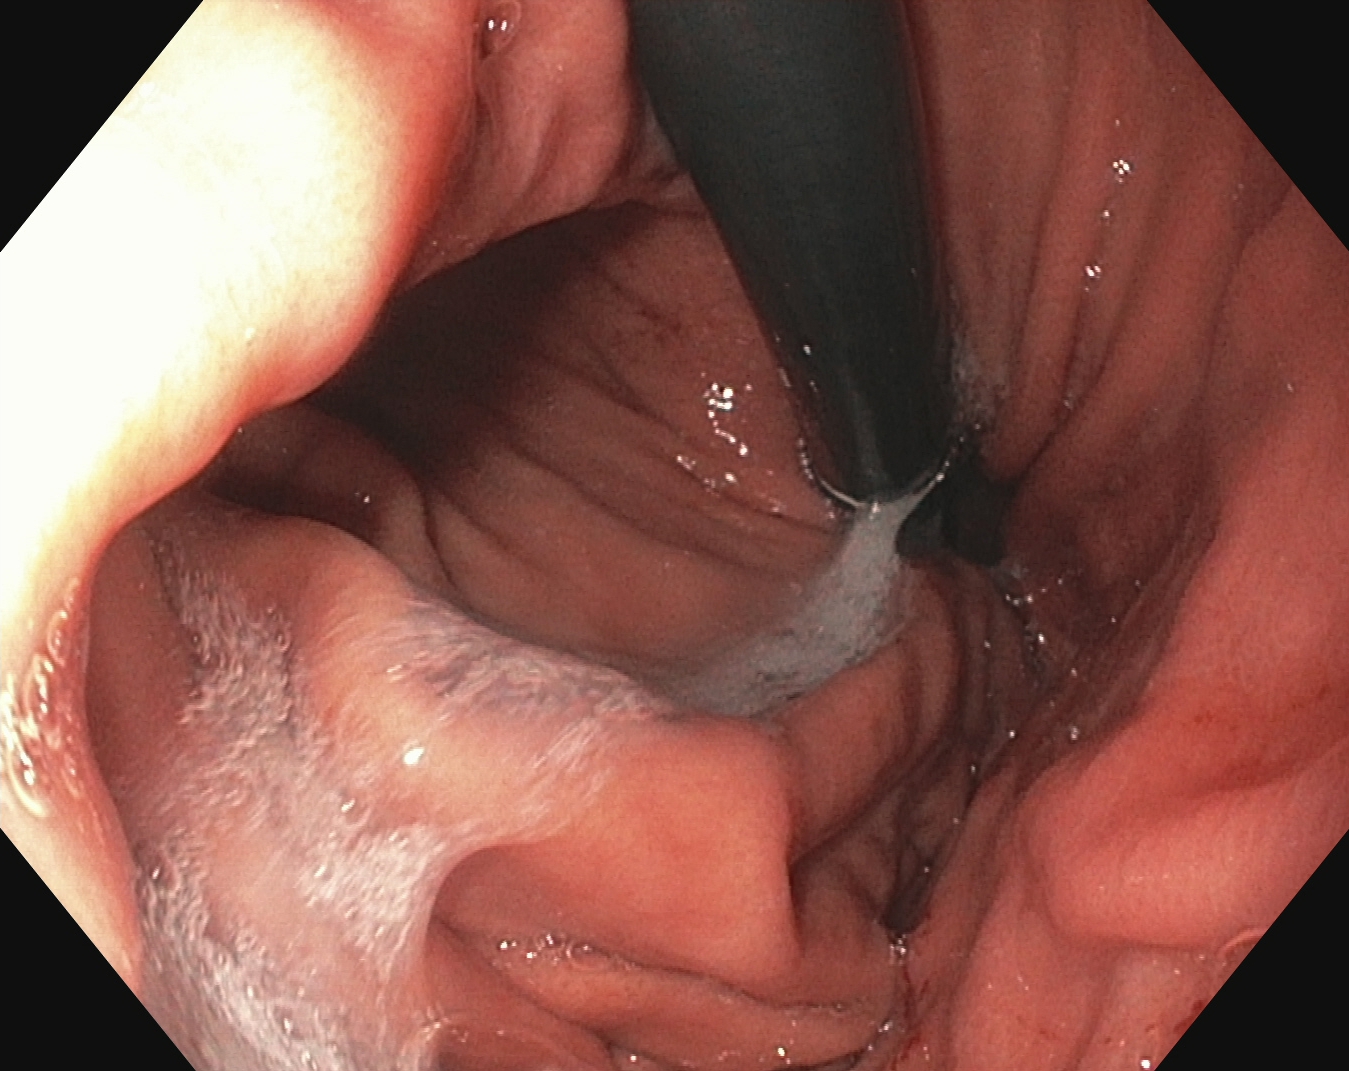Stomach in retroflexion.